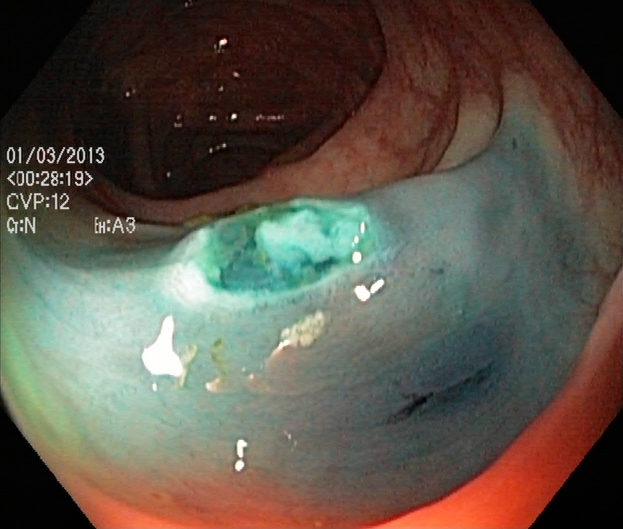Colonoscopy — dyed resection margins (post-polypectomy).